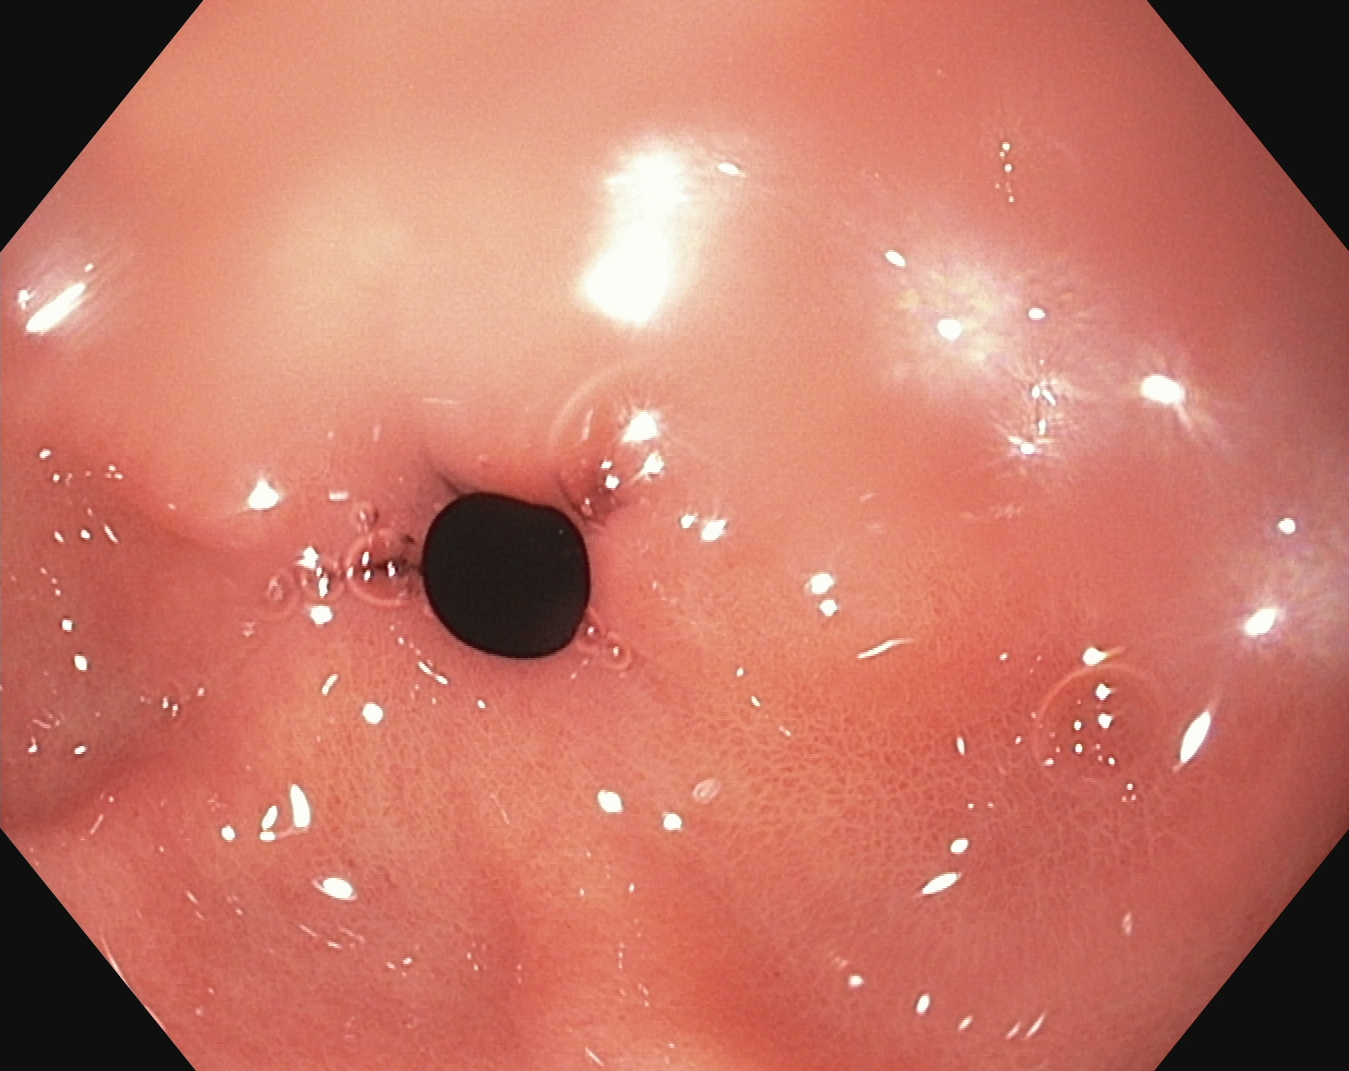PROCEDURE: Esophagogastroduodenoscopy.
CATEGORY: Anatomical landmark.
FINDINGS: Pylorus.